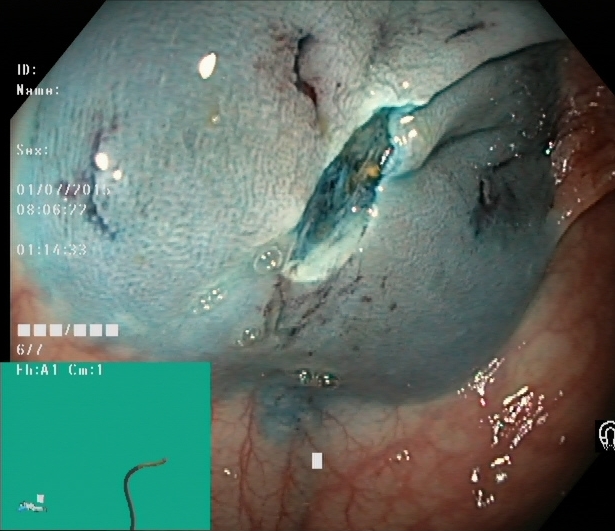Lower gastrointestinal endoscopy — dyed resection margins (post-polypectomy).